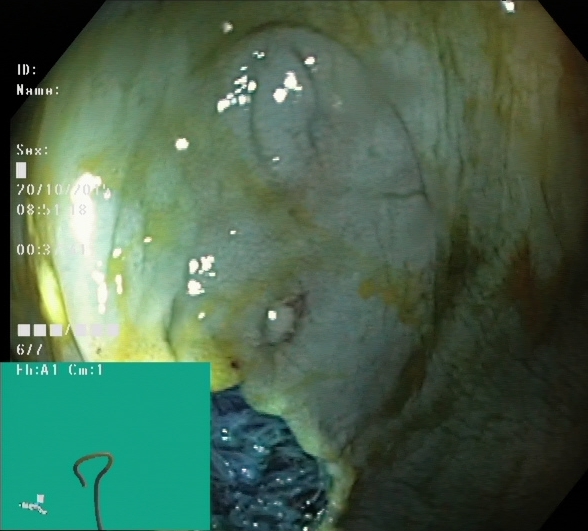Lower gastrointestinal endoscopy — dyed resection margins (post-polypectomy).